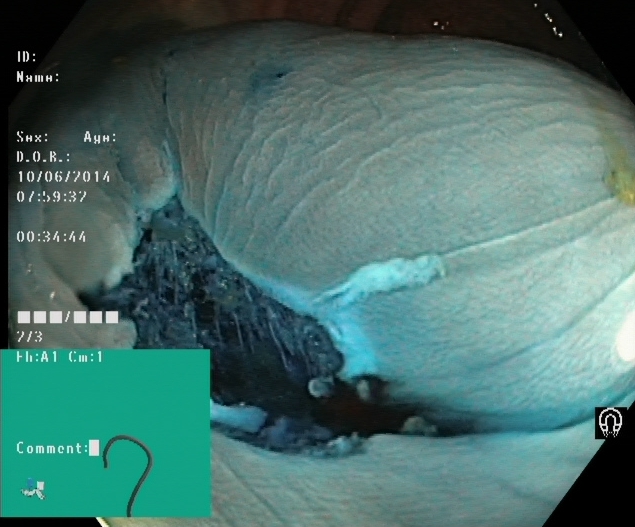Endoscopic image of the lower GI tract showing dyed resection margins (post-polypectomy).